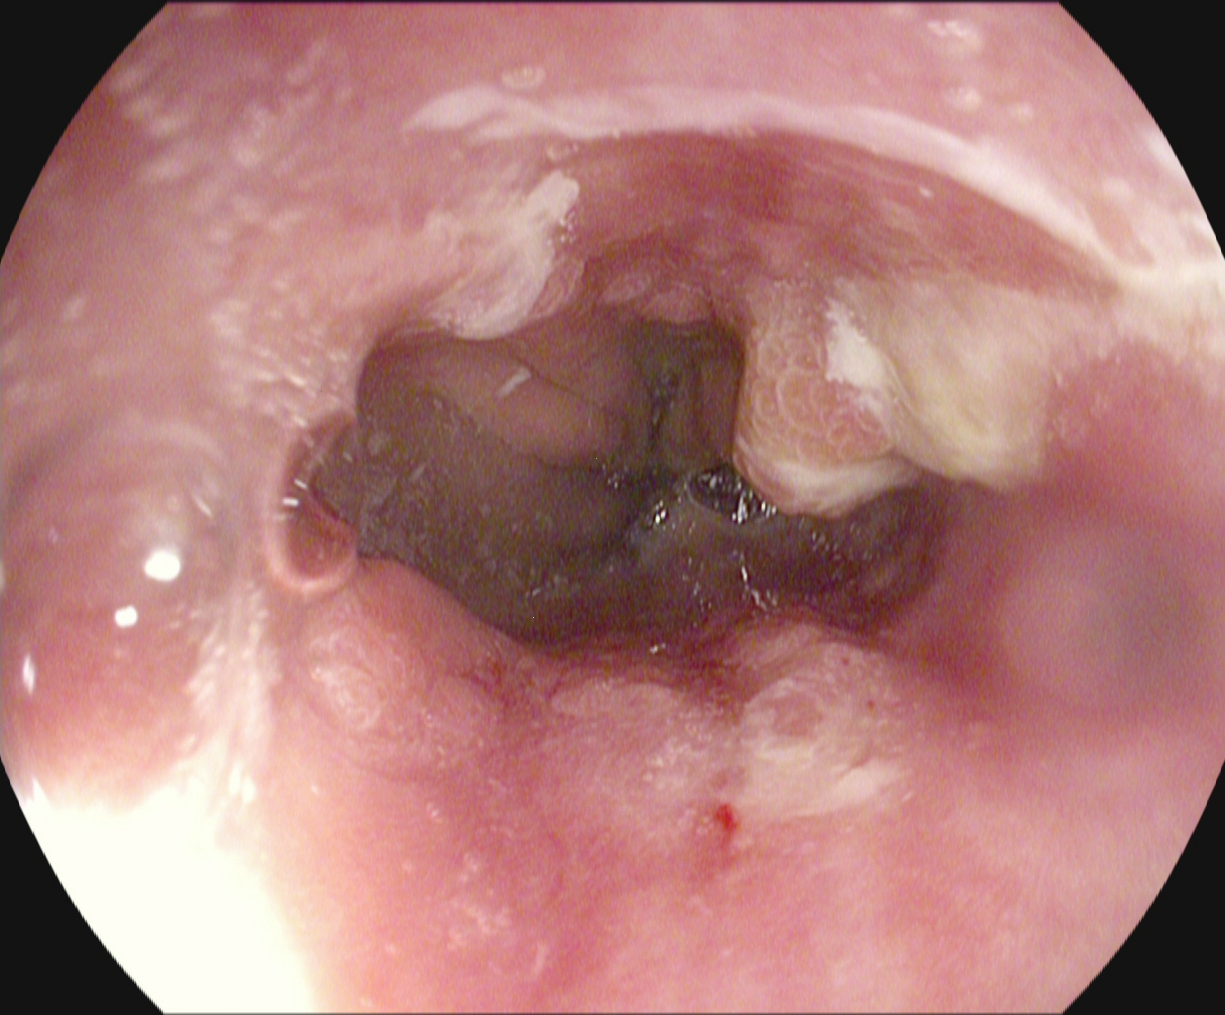PROCEDURE: Gastroscopy.
CATEGORY: Pathological finding.
FINDINGS: Reflux esophagitis, Los Angeles grade B–D.